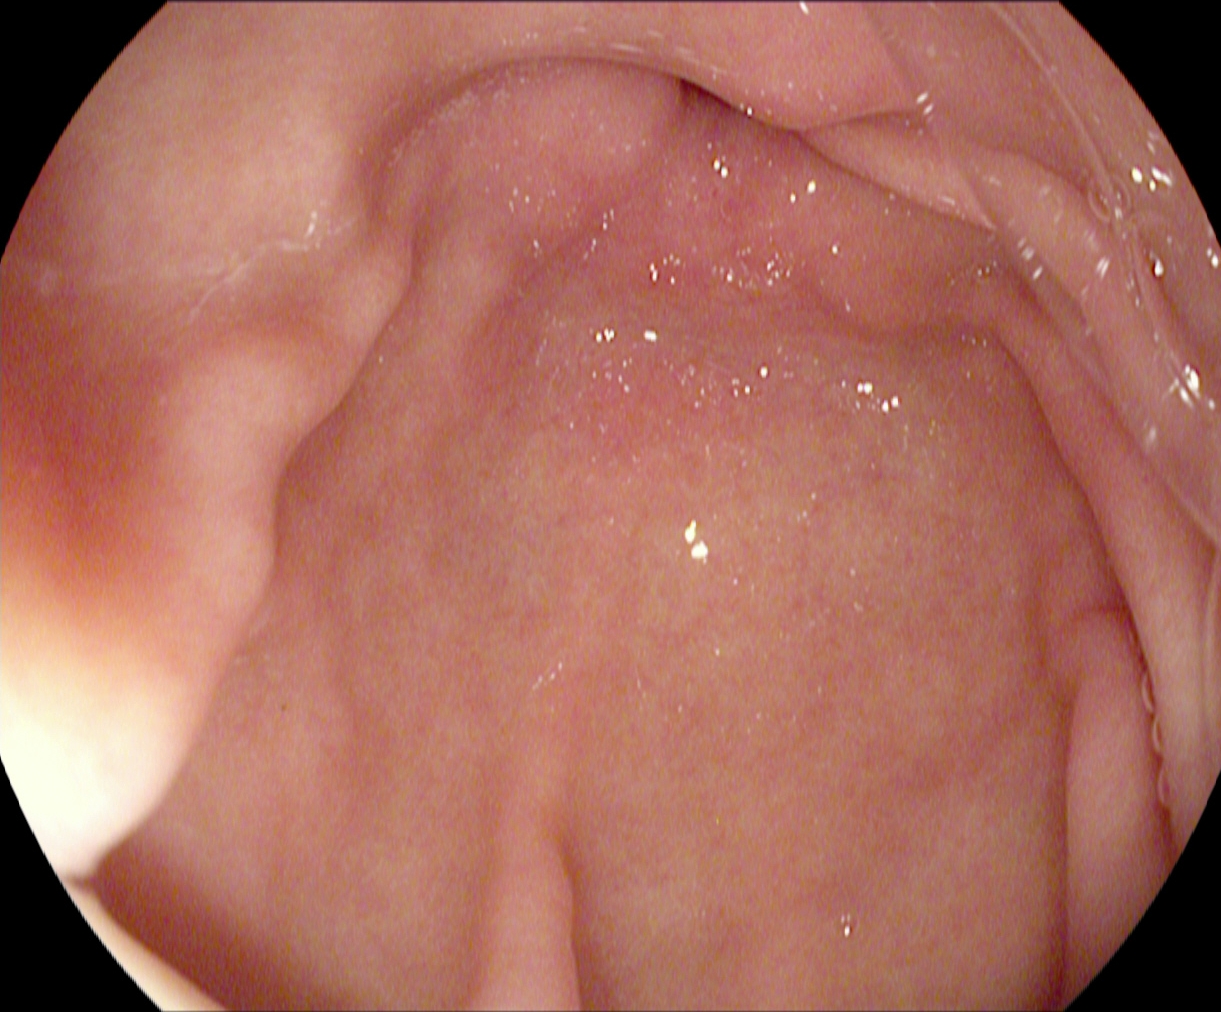modality: gastroscopy
tract: upper GI tract
category: anatomical landmark
finding: pylorus